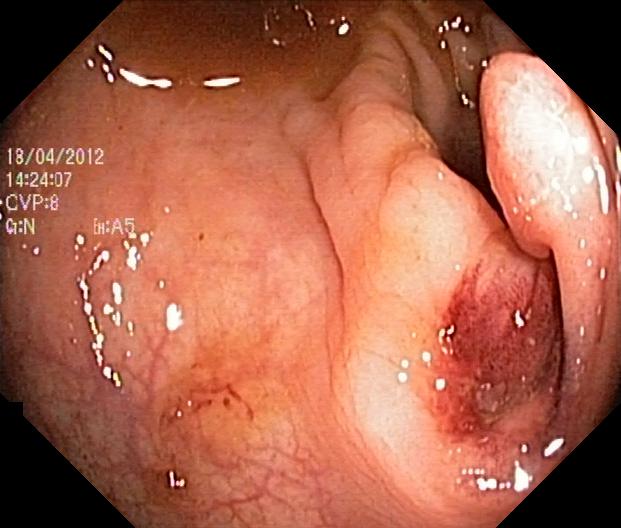modality: colonoscopy; tract: lower GI tract; category: pathological finding; finding: colorectal polyp(s)